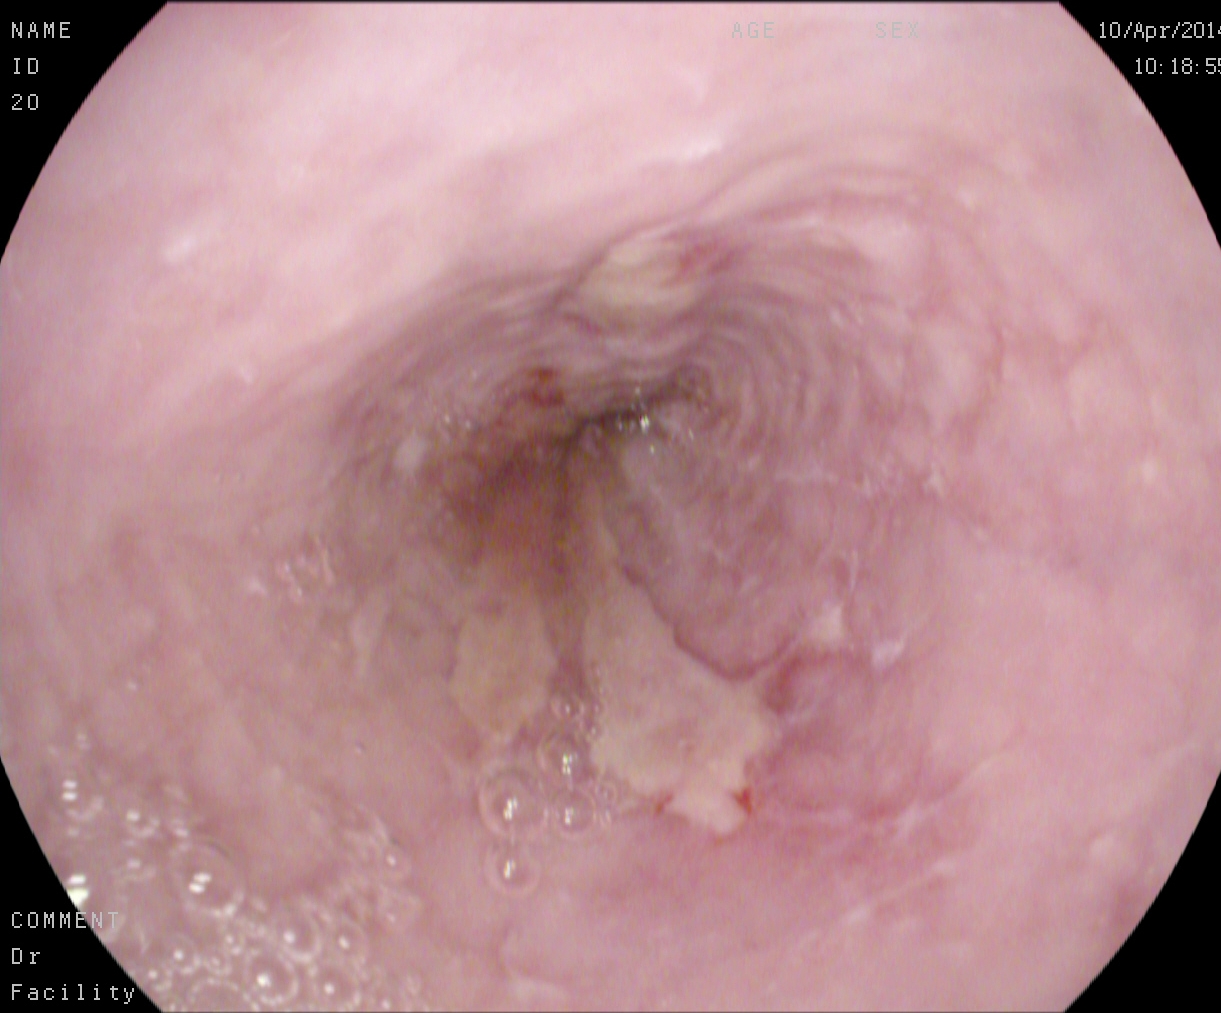PROCEDURE: EGD.
FINDINGS: Reflux esophagitis, Los Angeles grade B–D.